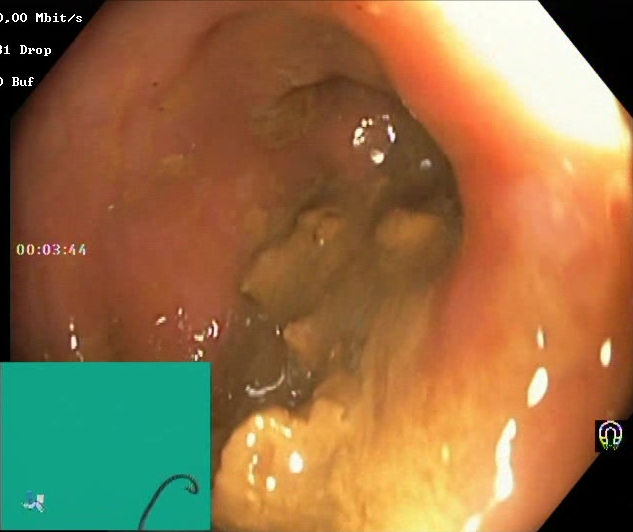modality: colonoscopy
tract: lower GI tract
finding: Boston Bowel Preparation Scale score 0–1 (inadequate preparation)